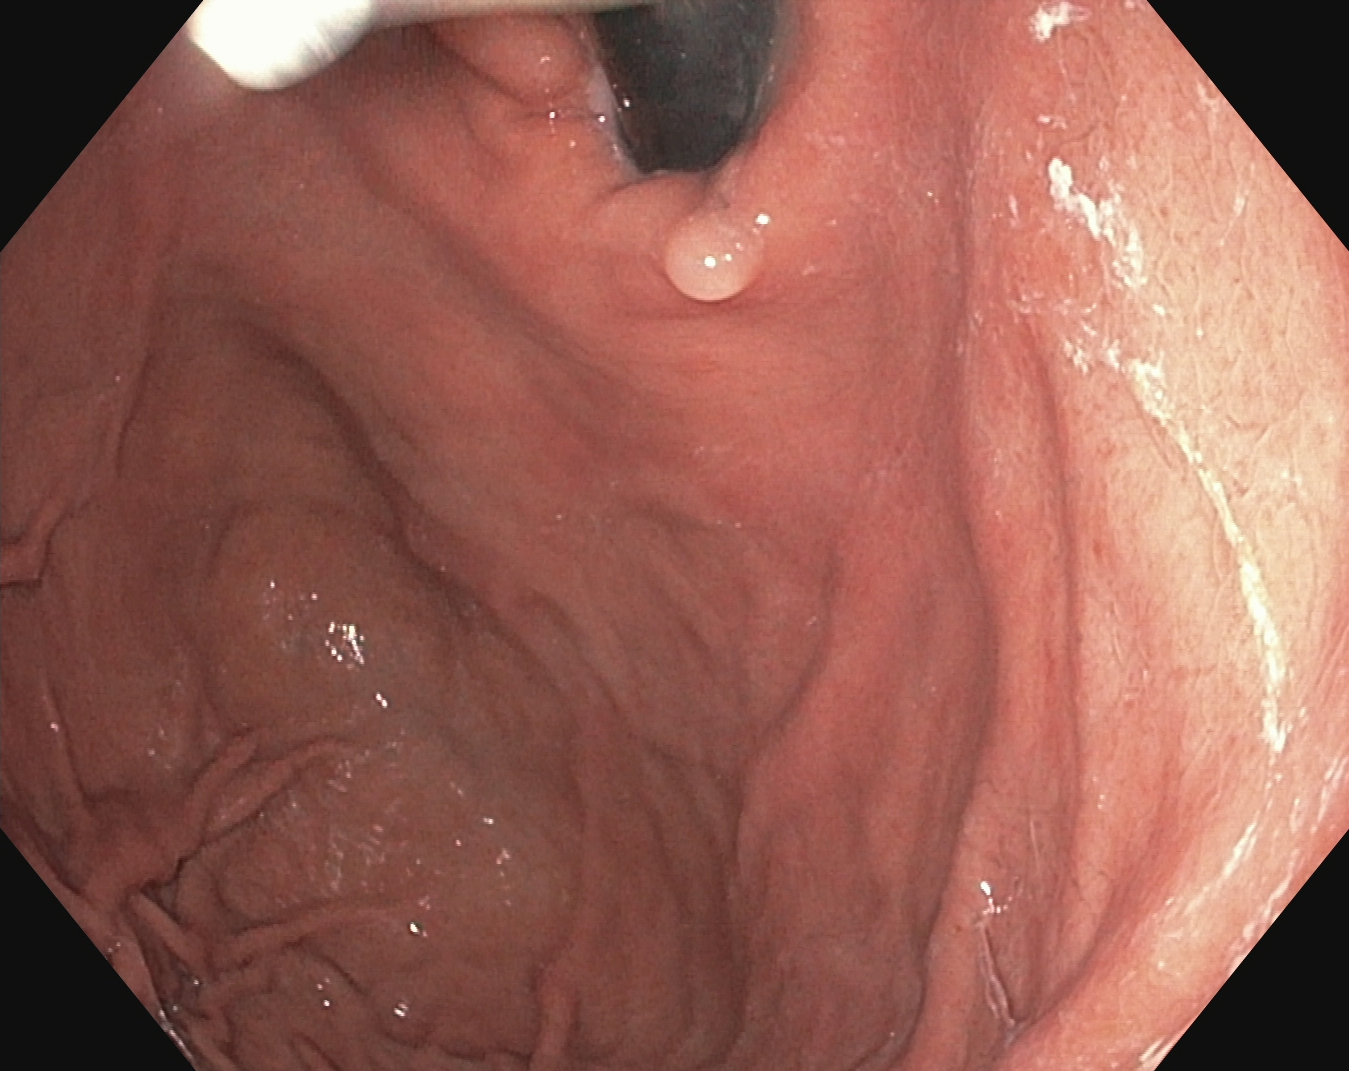Esophagogastroduodenoscopy. Tract: upper GI tract. Finding: stomach in retroflexion.